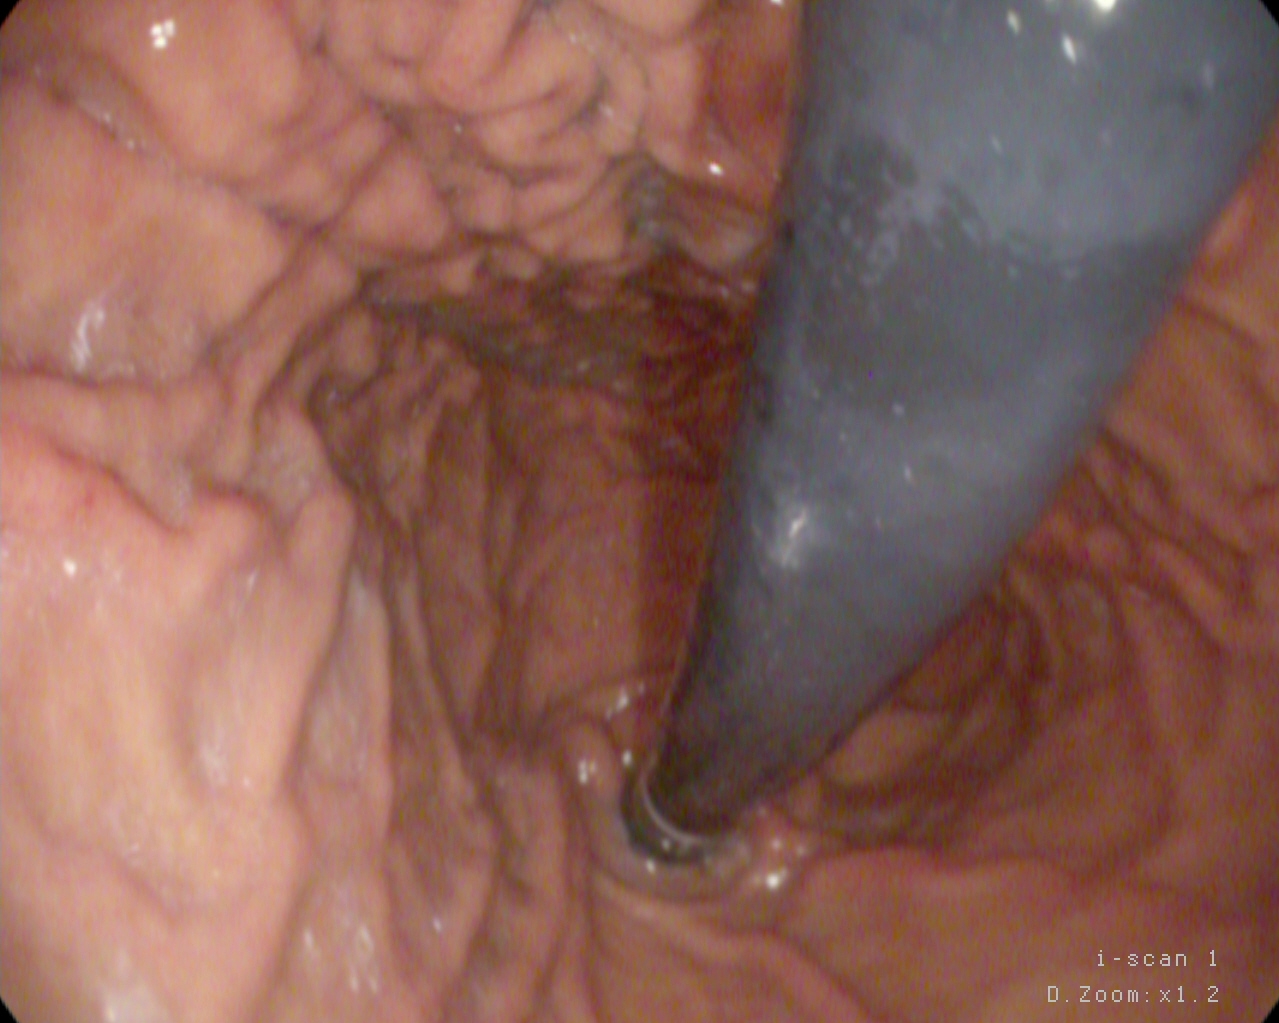Endoscopic image of the upper GI tract showing stomach in retroflexion.